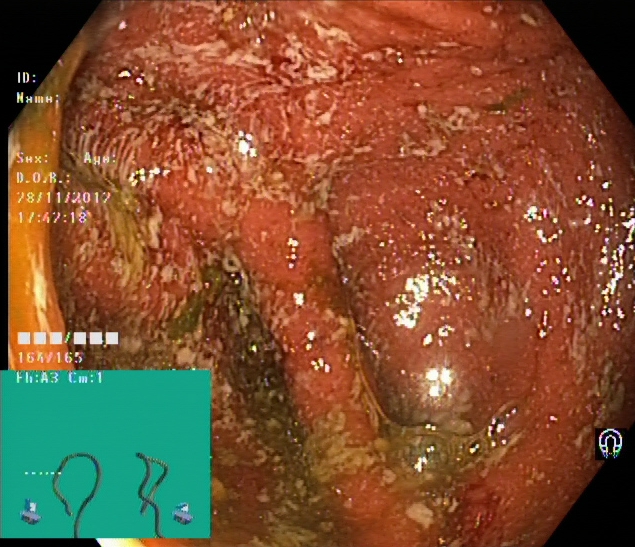Ulcerative colitis, Mayo endoscopic subscore 2.